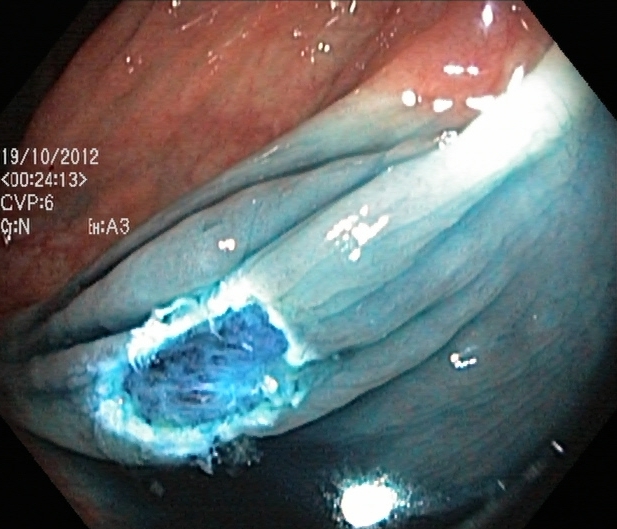Dyed resection margins (post-polypectomy).